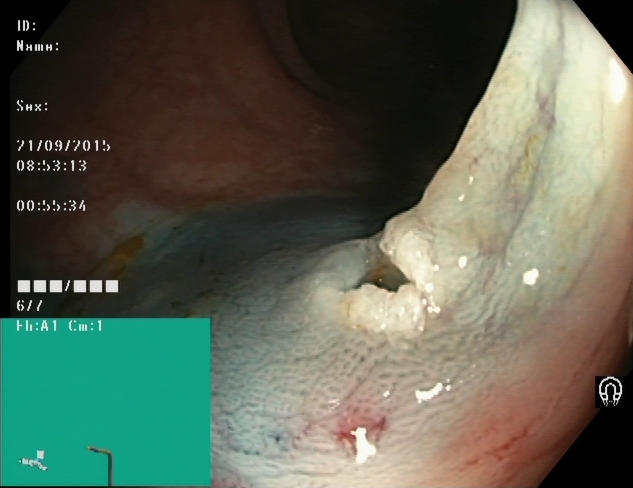{"modality": "colonoscopy", "finding": "dyed resection margins (post-polypectomy)"}